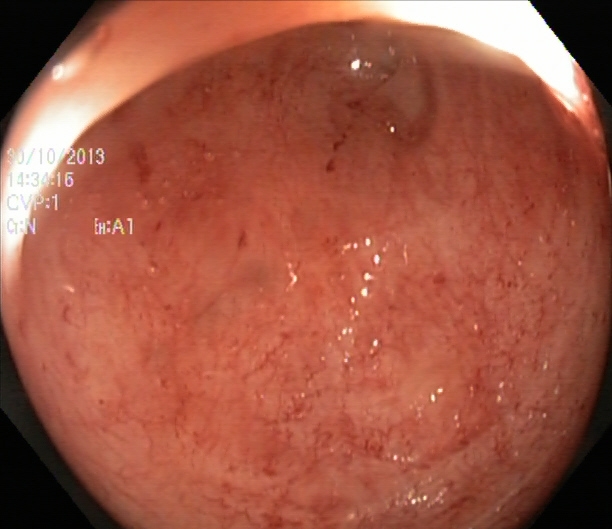Lower-GI endoscopy. Finding: ulcerative colitis, Mayo endoscopic subscore 1.